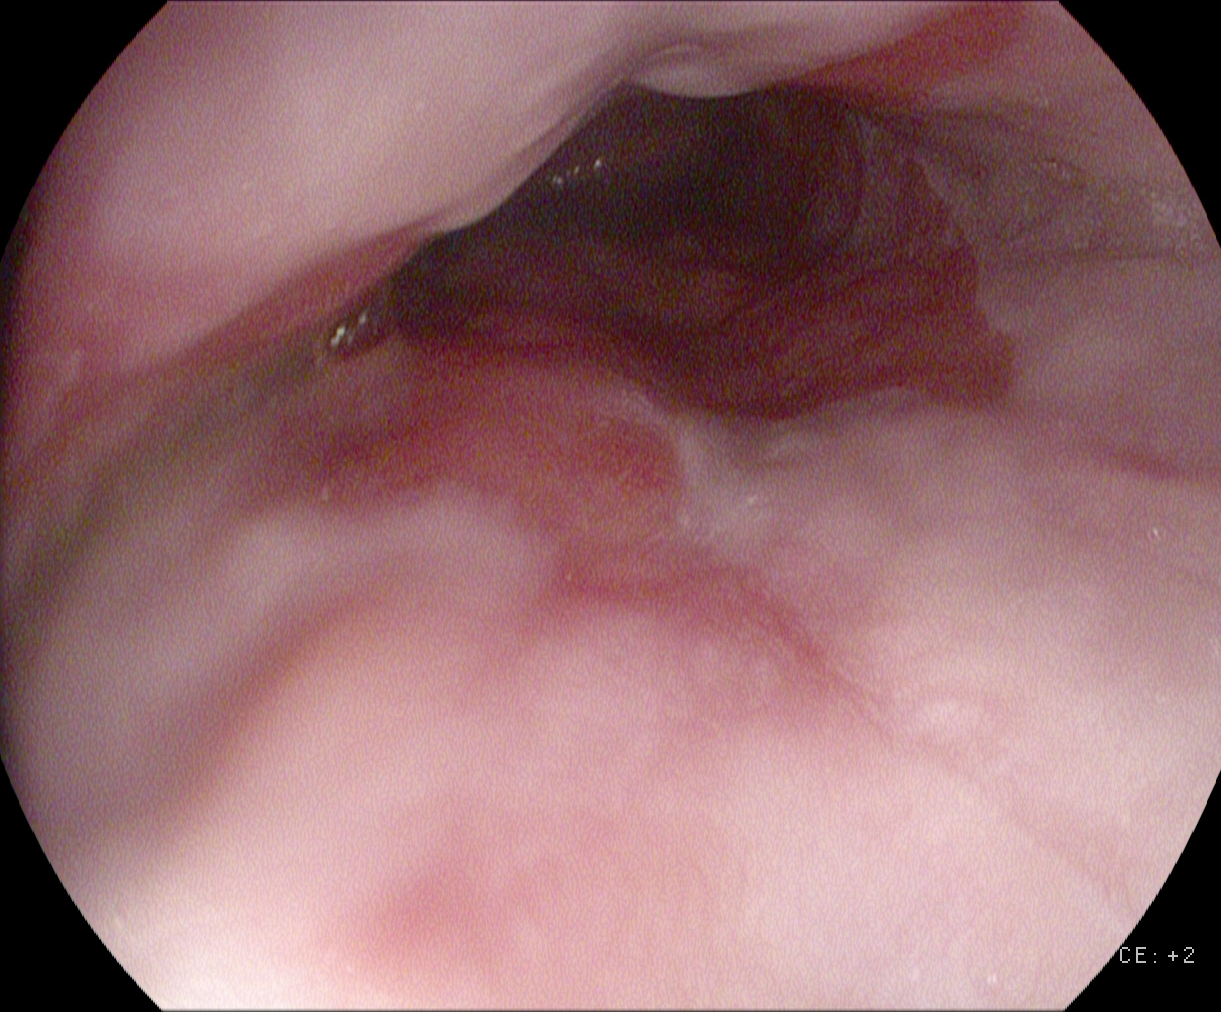This endoscopy frame shows reflux esophagitis, LA grade A.